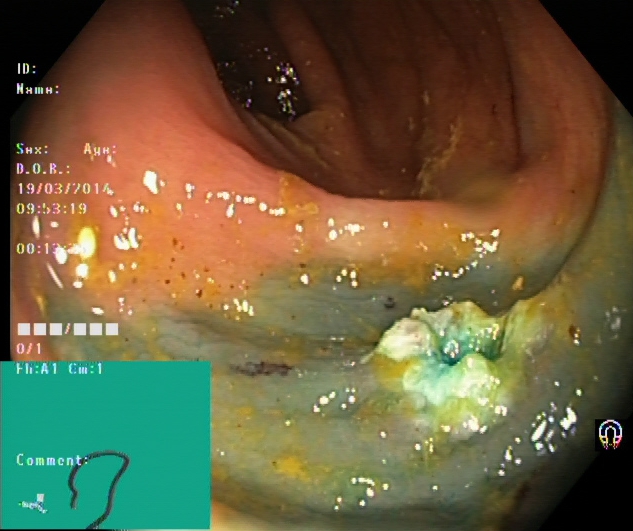PROCEDURE: Colonoscopy.
FINDINGS: Dyed resection margins (post-polypectomy).